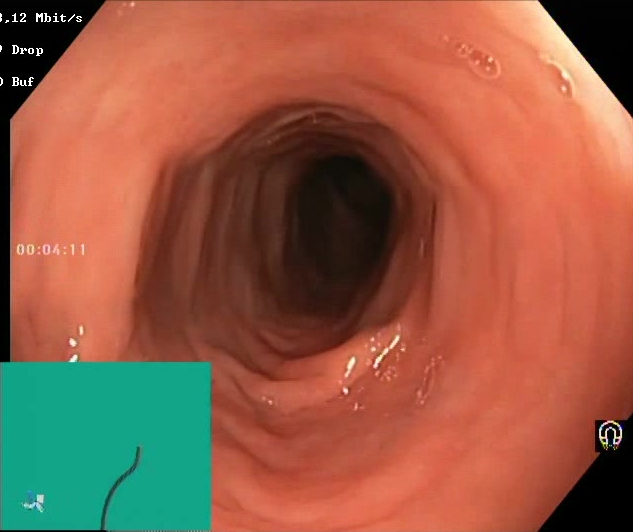Lower-GI endoscopy image showing Boston Bowel Preparation Scale score 2–3 (adequate preparation).